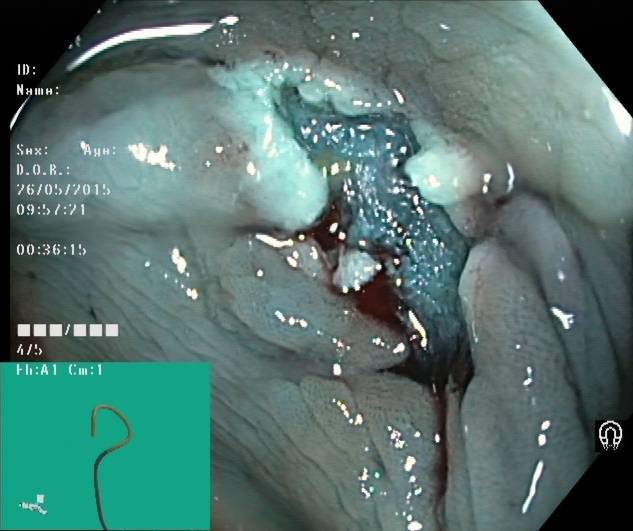Lower-GI endoscopy. Tract: lower GI tract. Therapeutic intervention. Finding: dyed resection margins (post-polypectomy).